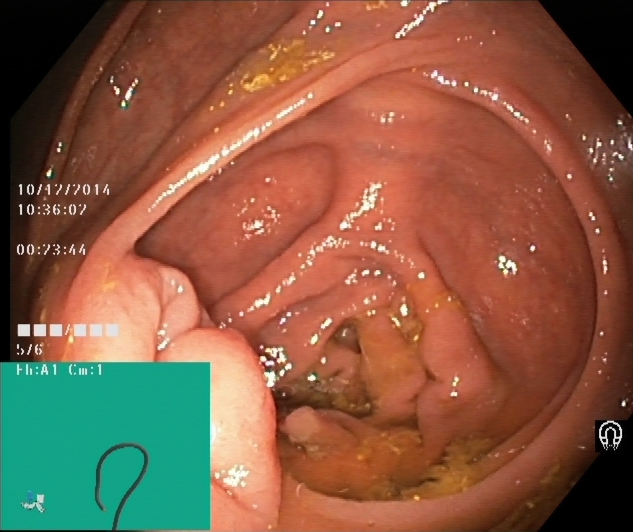modality: colonoscopy | tract: lower GI tract | finding: cecum